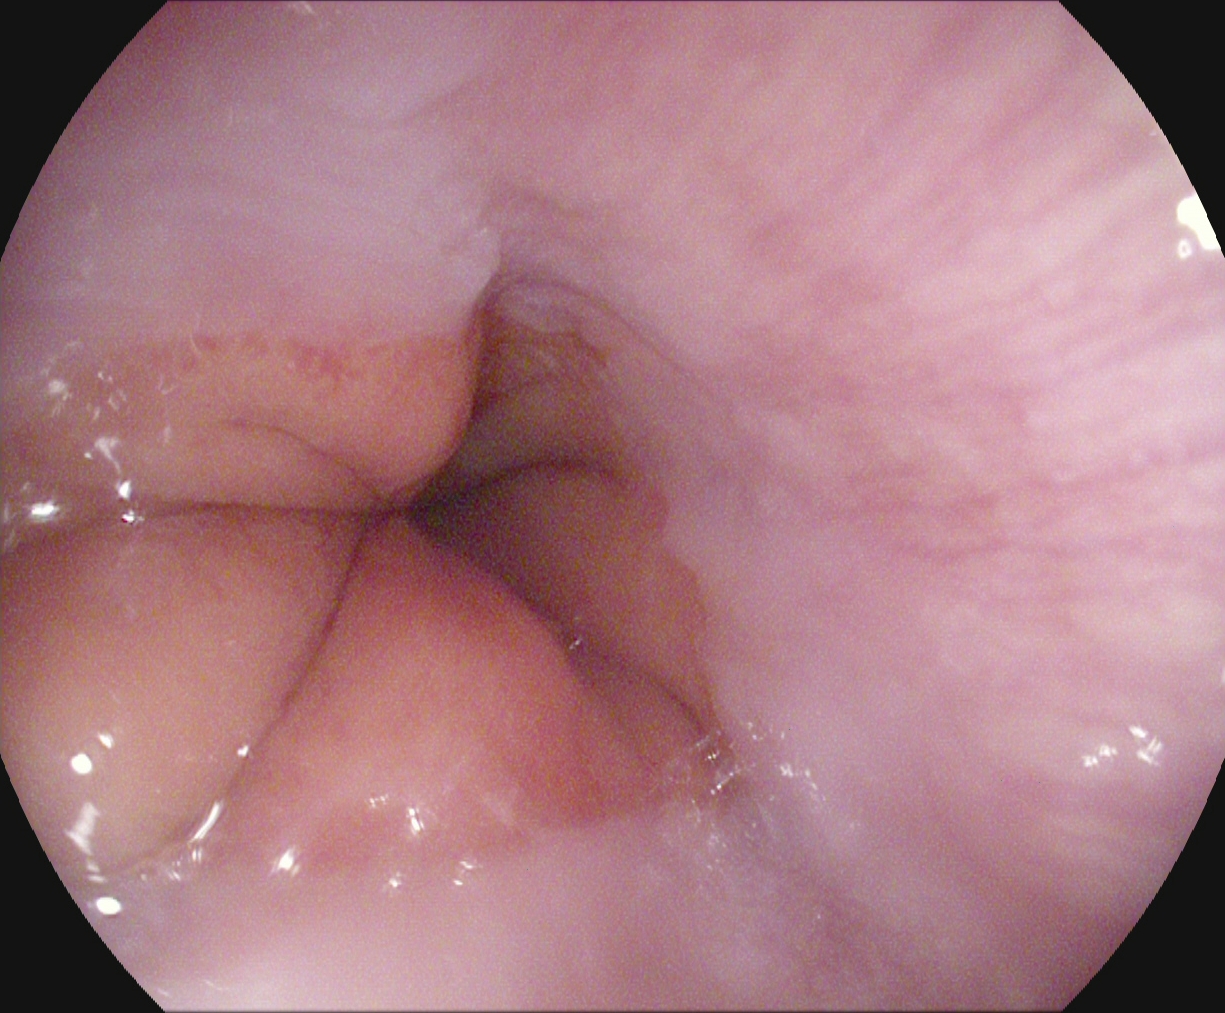Upper-GI endoscopy. Tract: upper GI tract. Finding: Z-line (gastroesophageal junction).